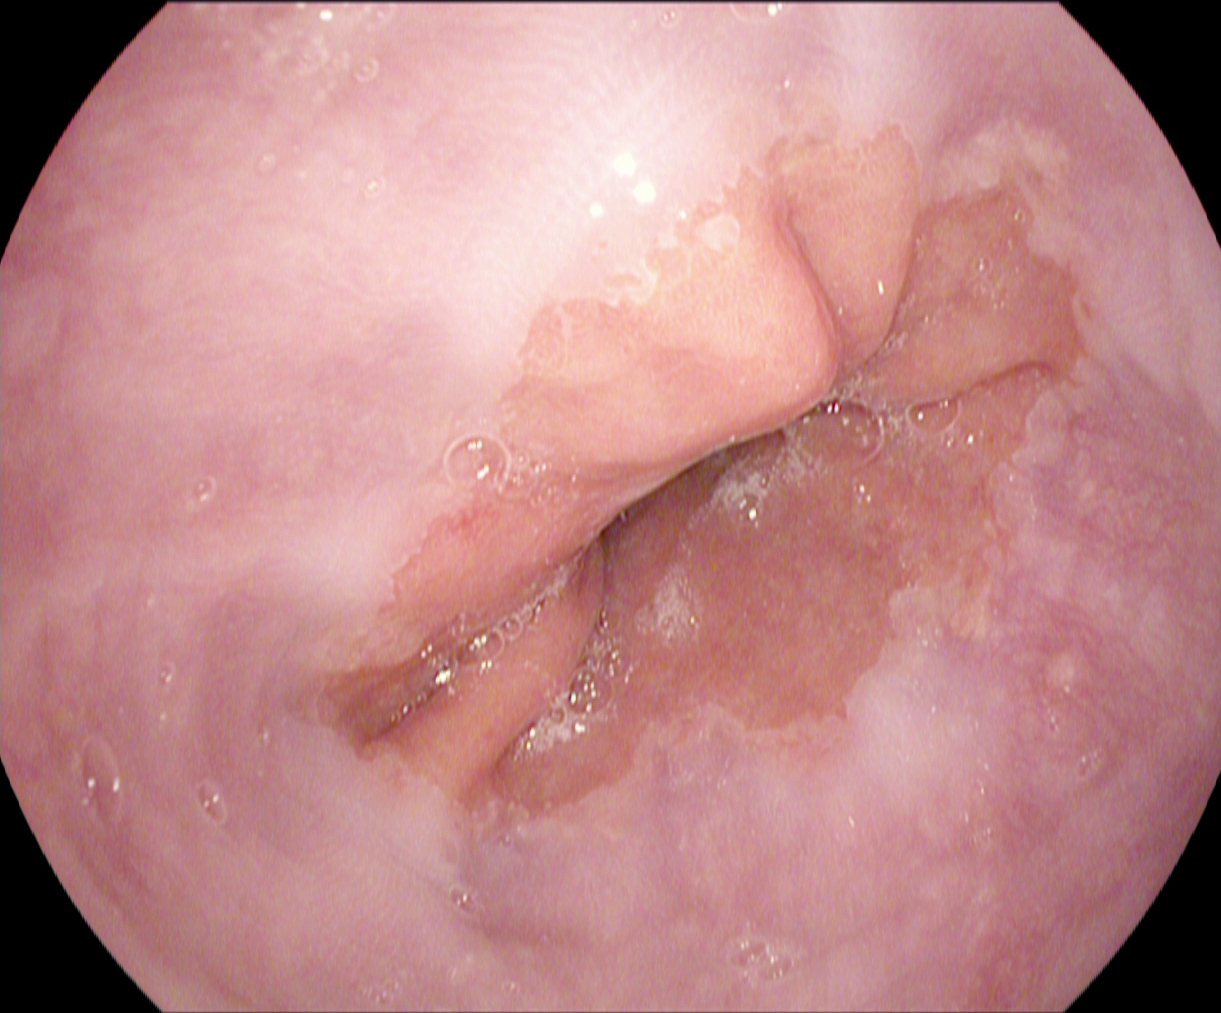This endoscopy frame of the upper GI tract shows Z-line (gastroesophageal junction).